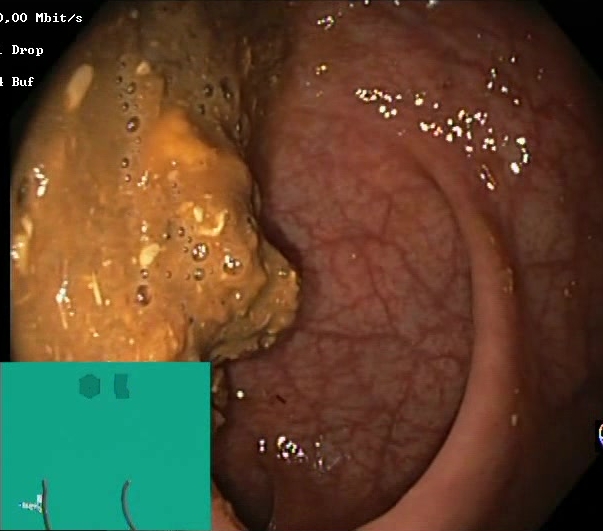This endoscopic image shows Boston Bowel Preparation Scale score 0–1 (inadequate preparation).